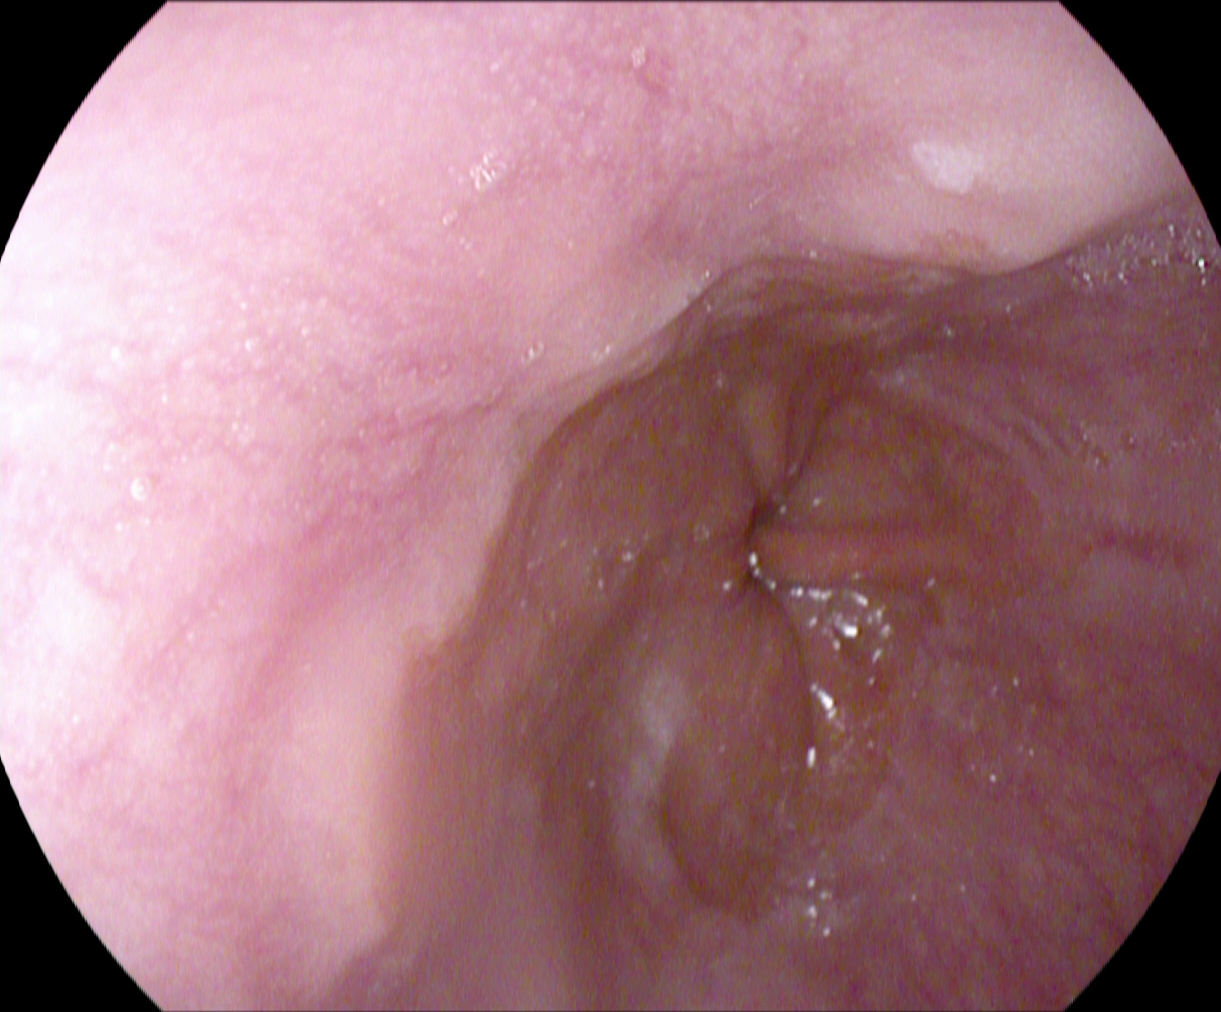modality: upper-GI endoscopy
finding: reflux esophagitis, Los Angeles grade A